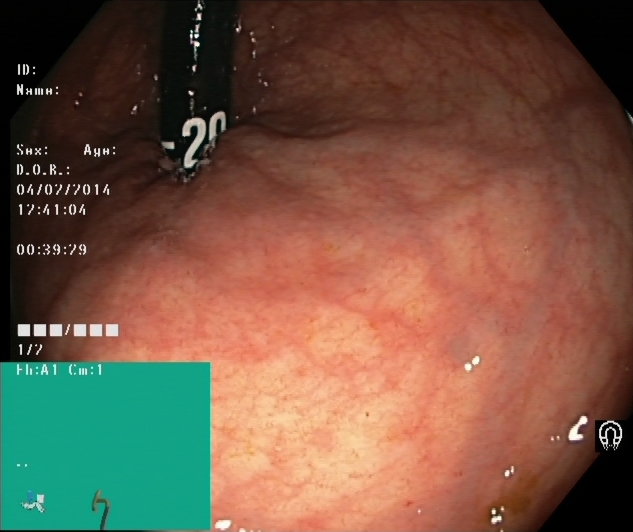Colonoscopy — rectum in retroflexion.